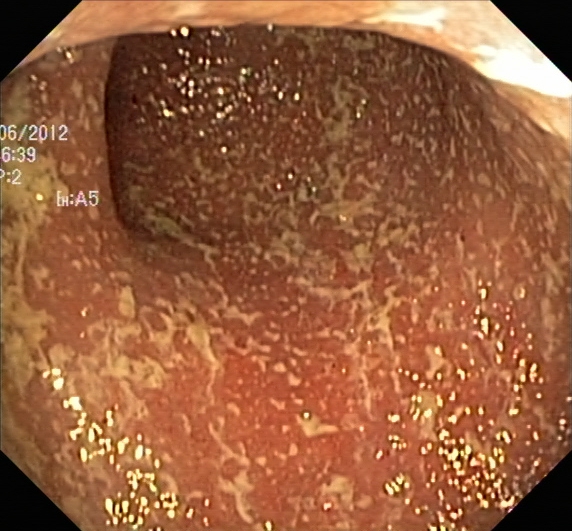This endoscopy frame of the lower GI tract shows UC, Mayo endoscopic subscore 2.